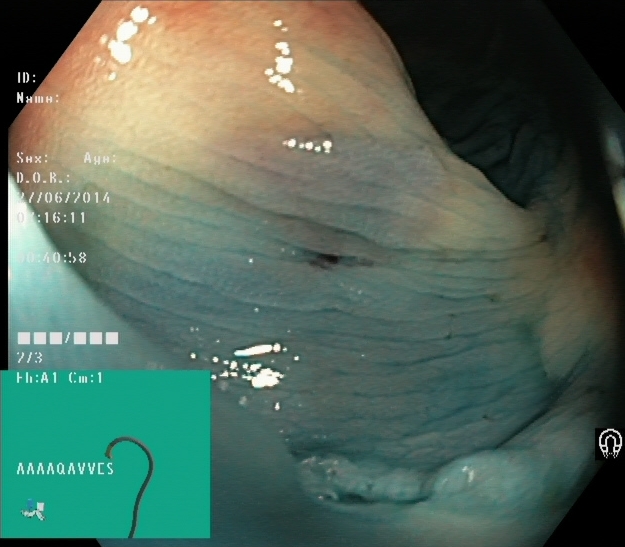PROCEDURE: Lower gastrointestinal endoscopy.
FINDINGS: Dyed resection margins (post-polypectomy).